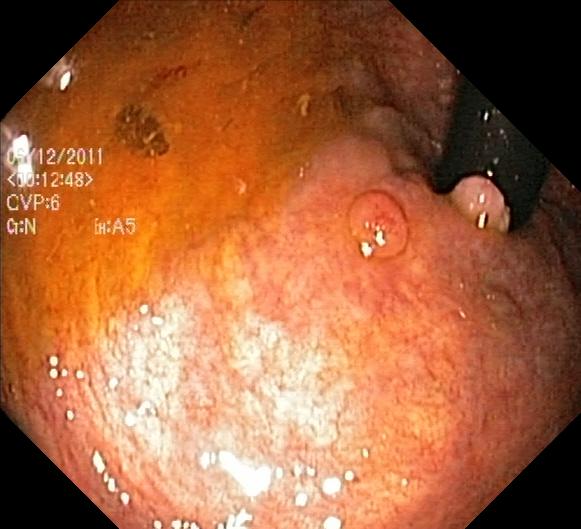Lower-GI endoscopy. Tract: lower GI tract. Finding: colorectal polyp(s).